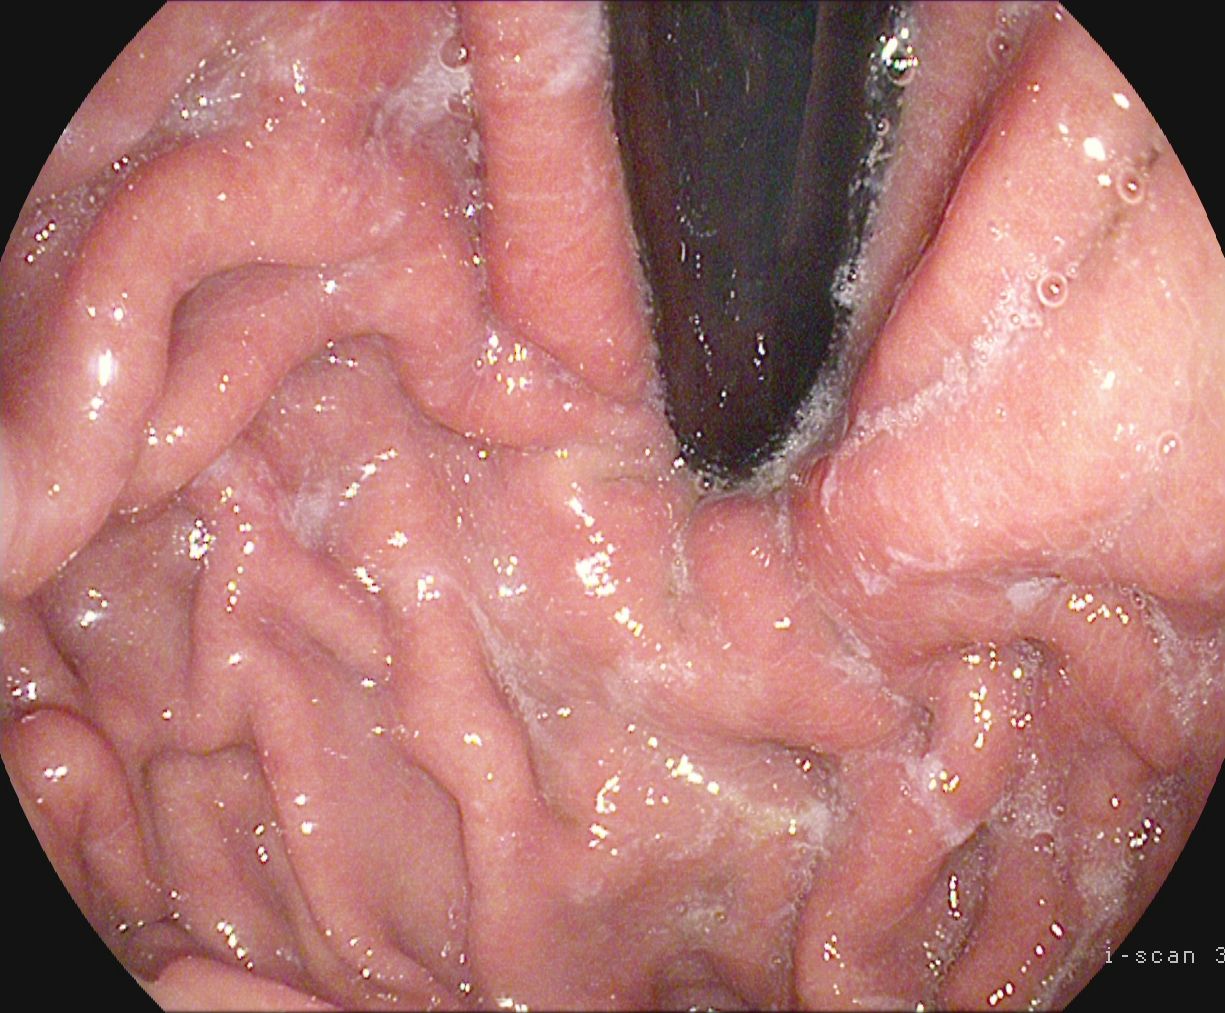modality: esophagogastroduodenoscopy
tract: upper GI tract
category: anatomical landmark
finding: stomach in retroflexion